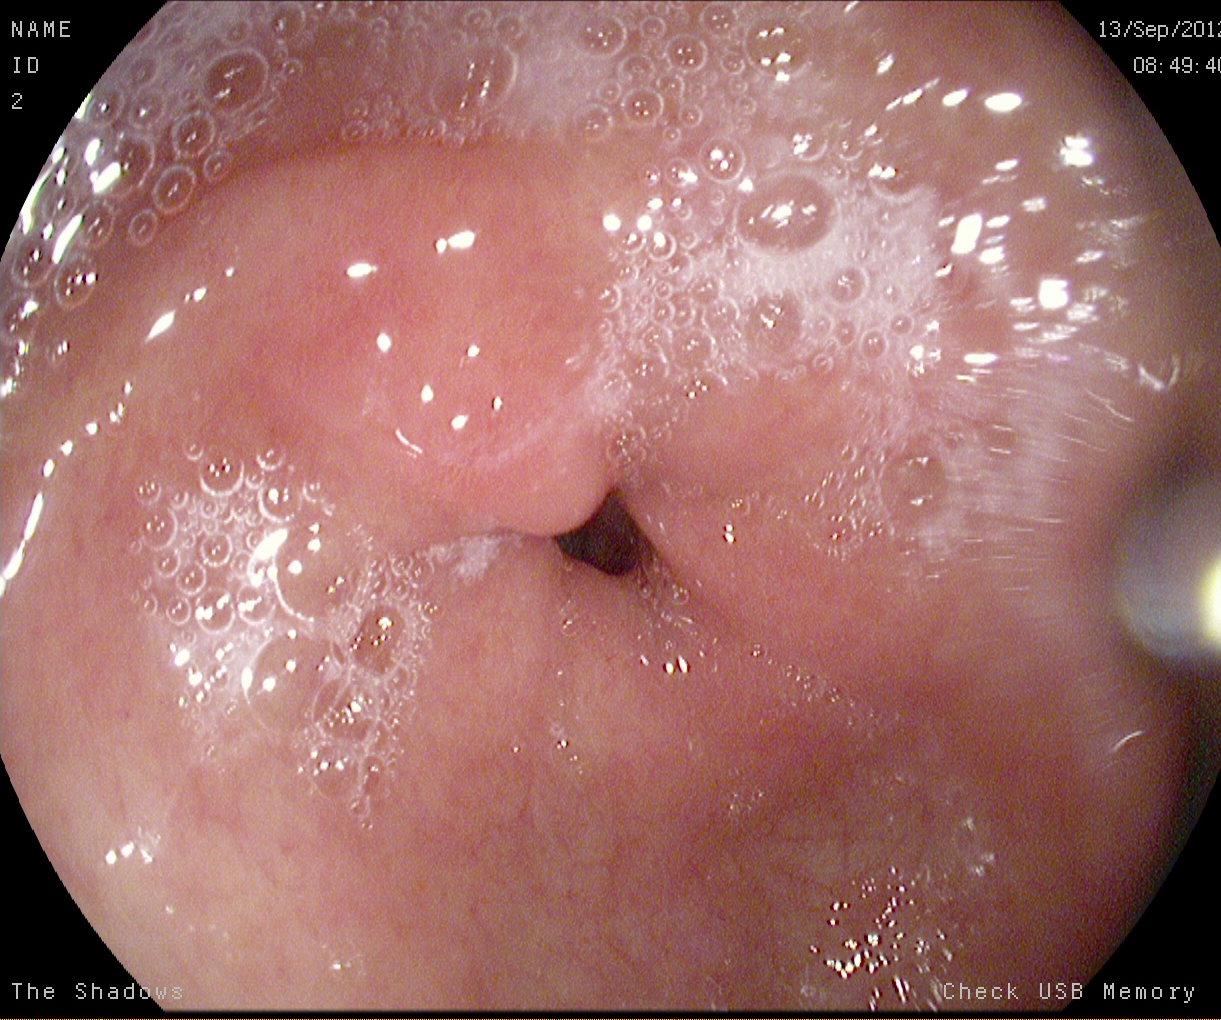EGD — pylorus.